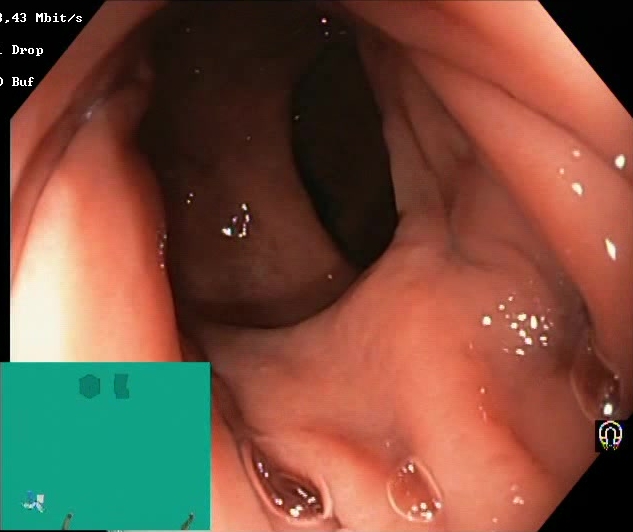Colonoscopy — Boston Bowel Preparation Scale score 2–3 (adequate preparation).